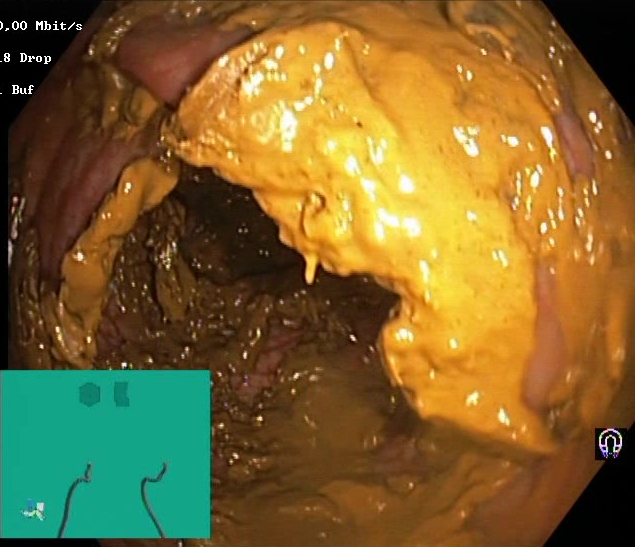PROCEDURE: Lower-GI endoscopy.
CATEGORY: Mucosal-view quality.
FINDINGS: BBPS score 0–1 (inadequate preparation).